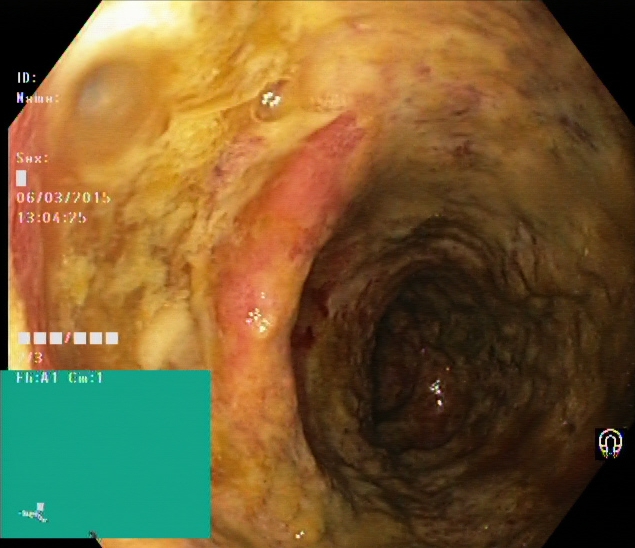Colonoscopy — ulcerative colitis, Mayo endoscopic subscore 3.